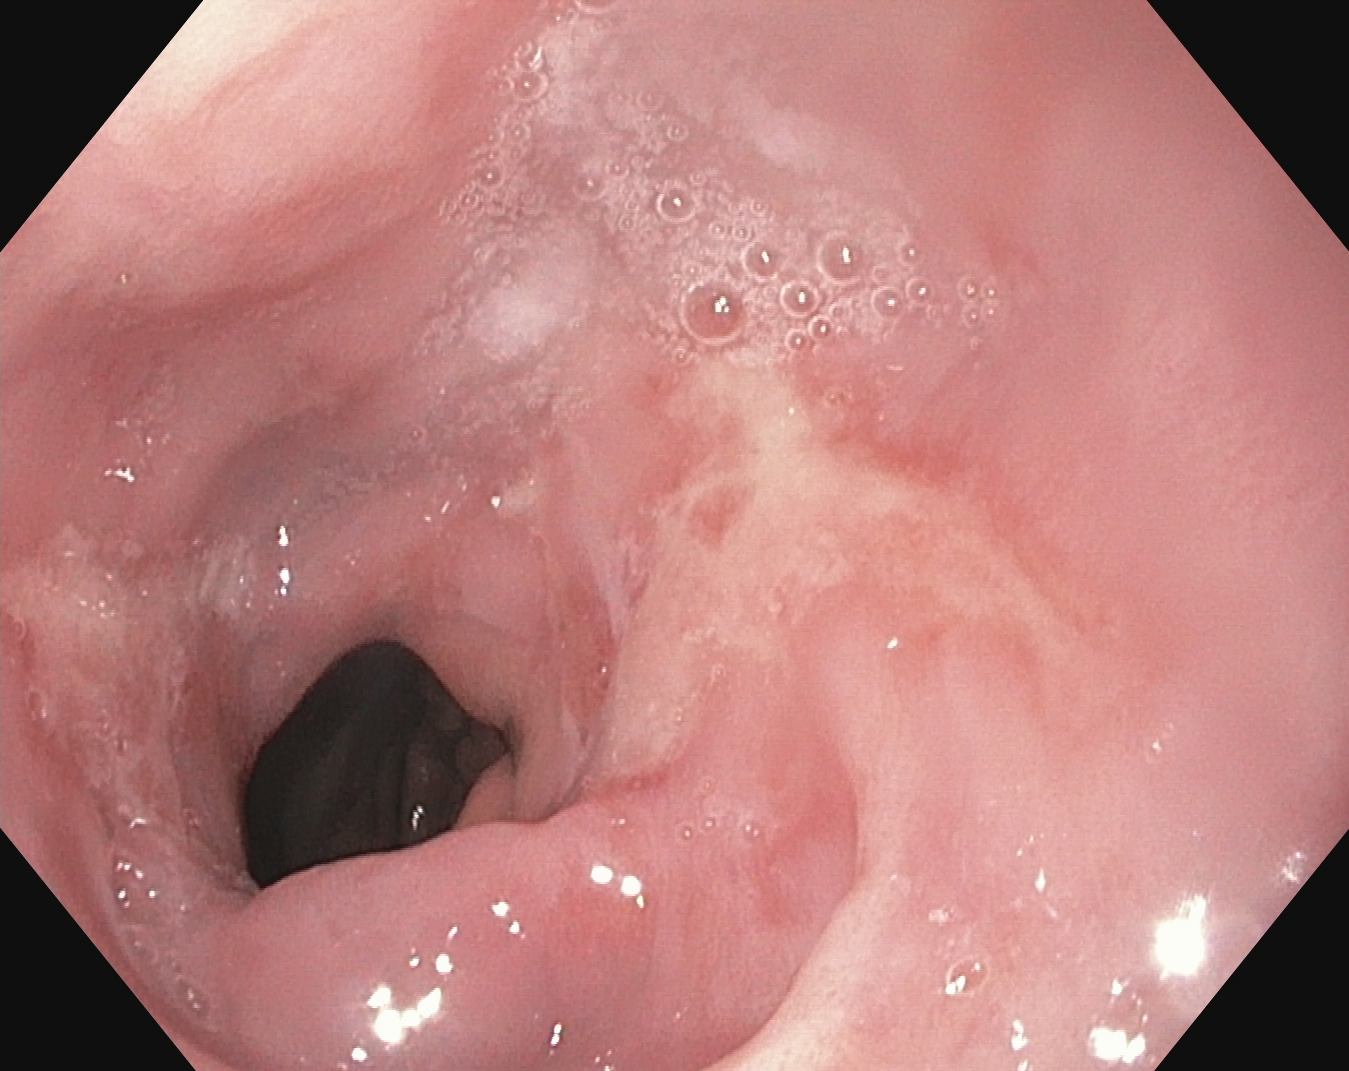modality: gastroscopy | category: pathological finding | finding: reflux esophagitis, Los Angeles grade B–D